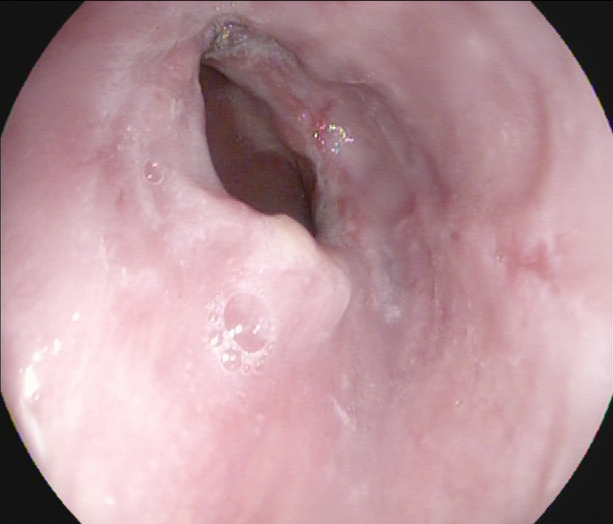reflux esophagitis, LA grade A.